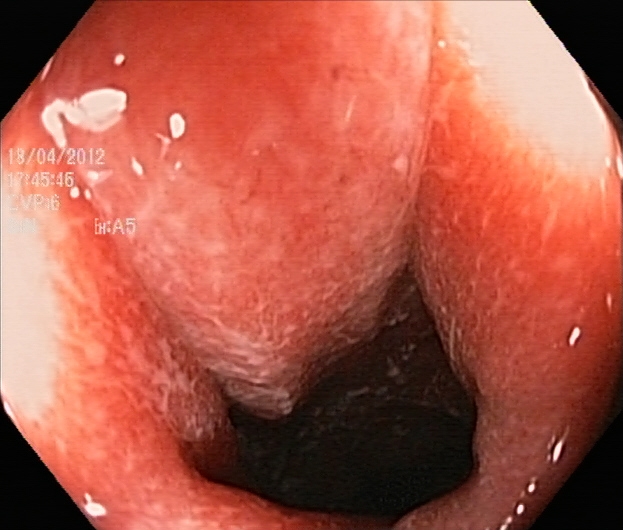Ulcerative colitis, Mayo endoscopic subscore 2.